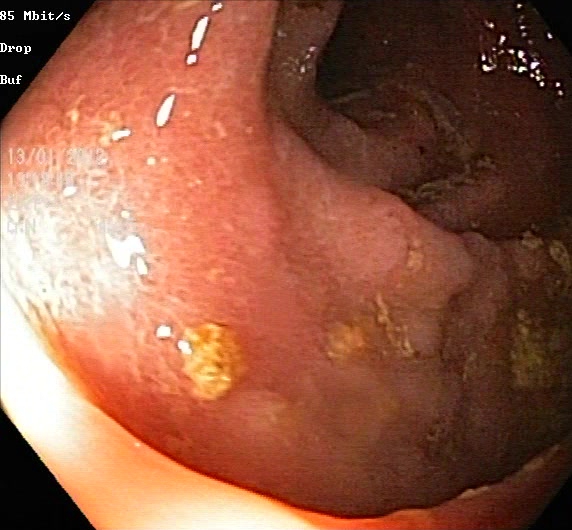Lower gastrointestinal endoscopy image showing ulcerative colitis, Mayo endoscopic subscore 2.